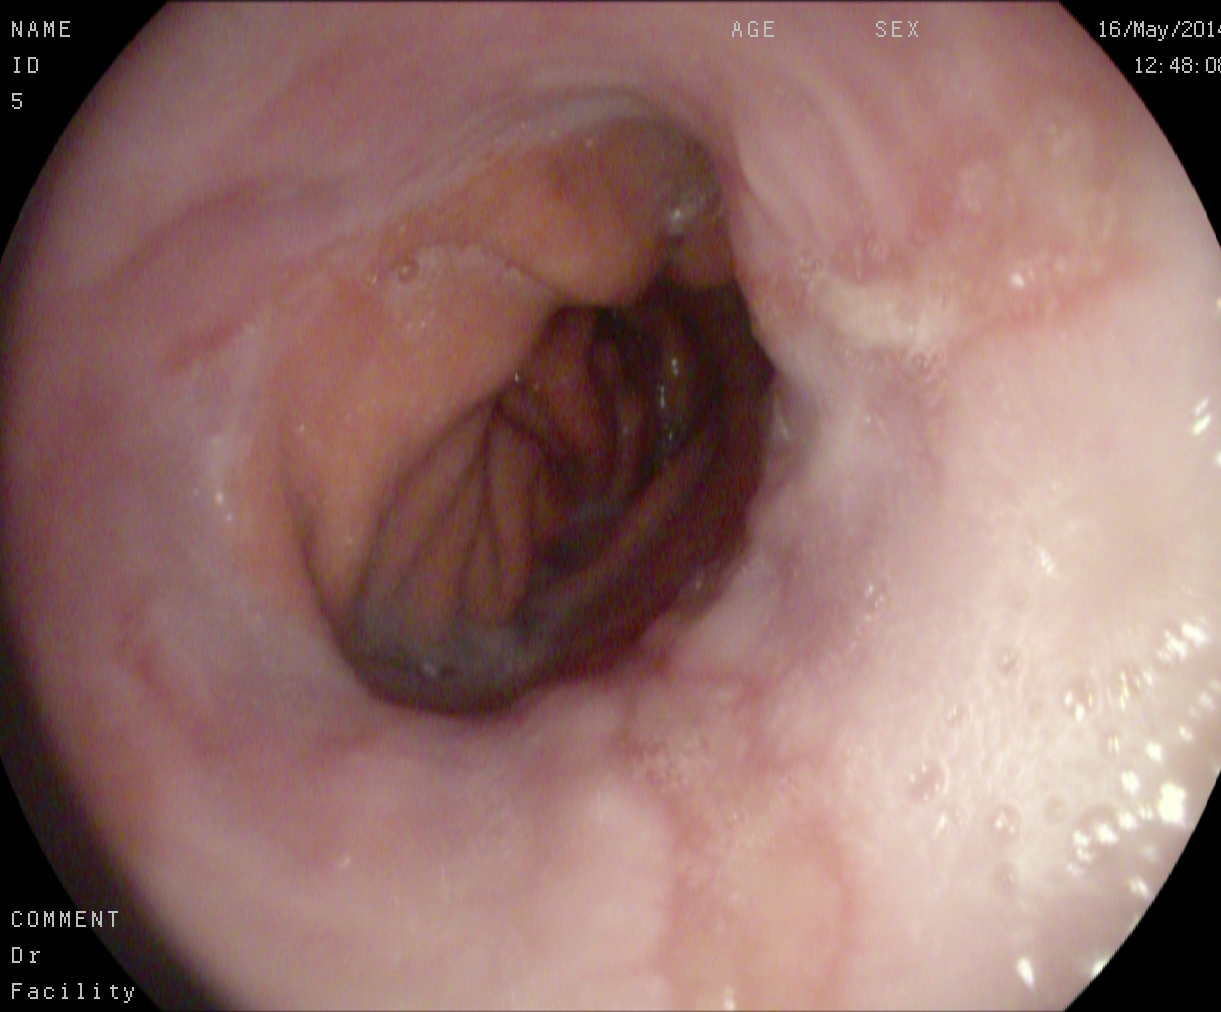PROCEDURE: Esophagogastroduodenoscopy.
CATEGORY: Pathological finding.
FINDINGS: Reflux esophagitis, LA grade B–D.